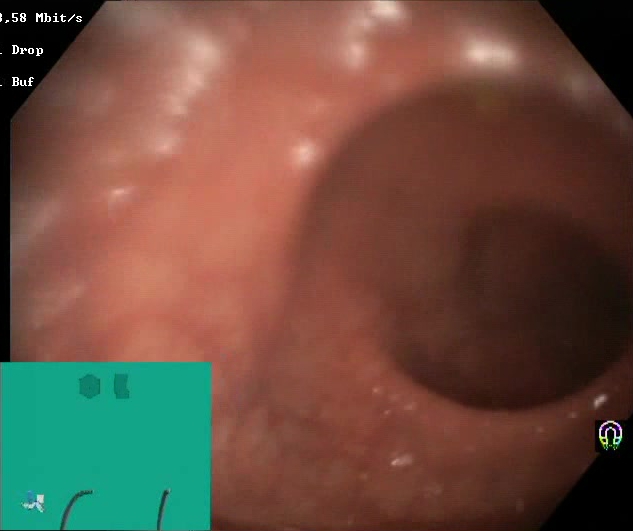GI endoscopy image of the lower GI tract showing Boston Bowel Preparation Scale score 2–3 (adequate preparation).